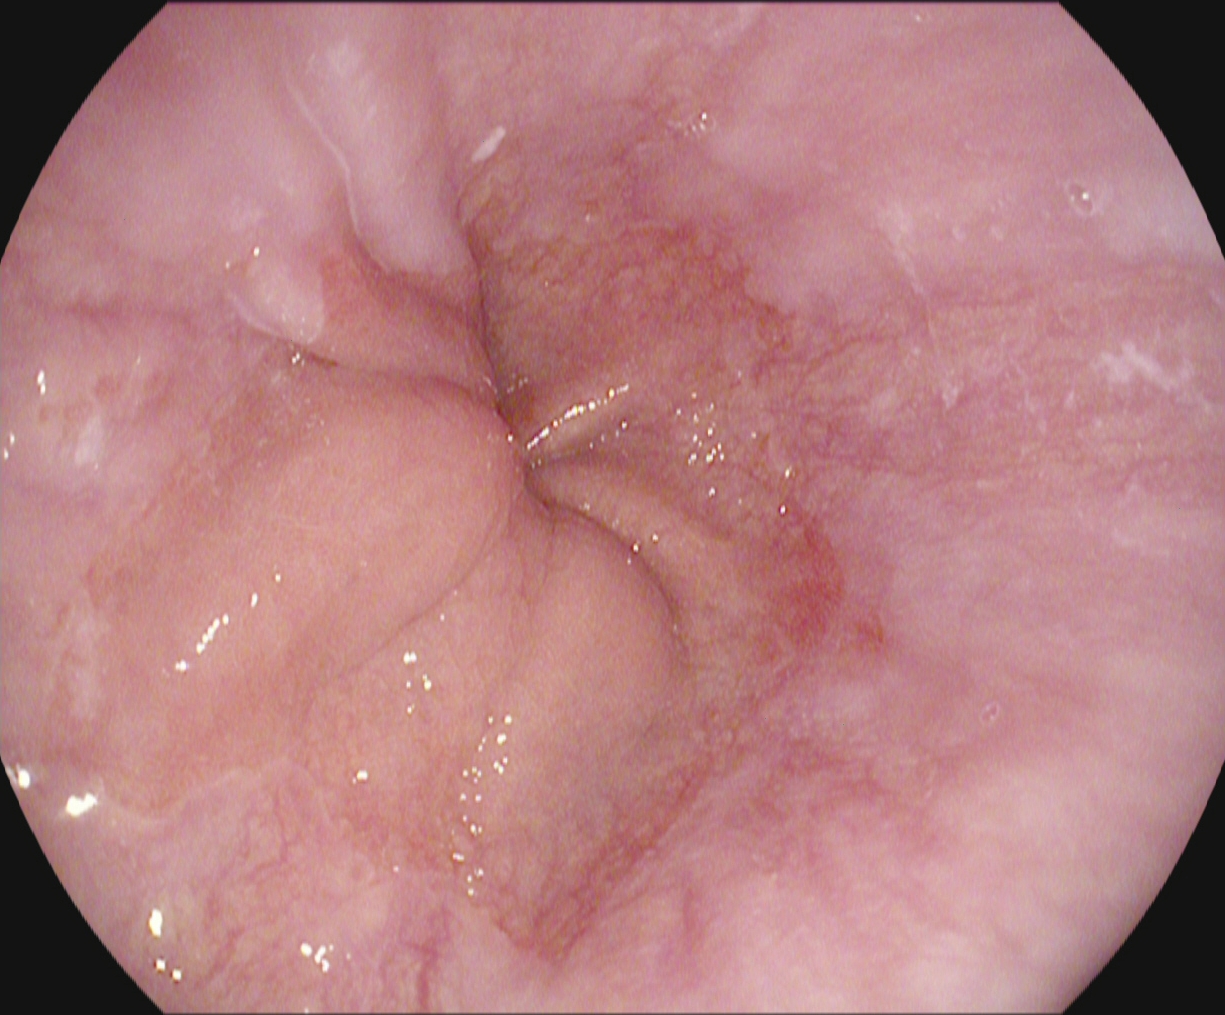{"modality": "upper-GI endoscopy", "finding": "Barrett's esophagus, short segment"}